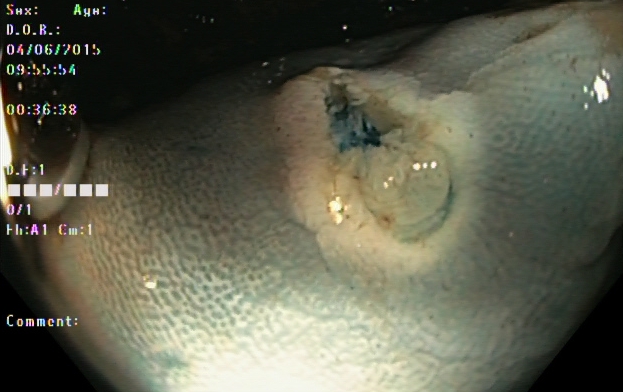PROCEDURE: Lower gastrointestinal endoscopy.
FINDINGS: Dyed resection margins (post-polypectomy).